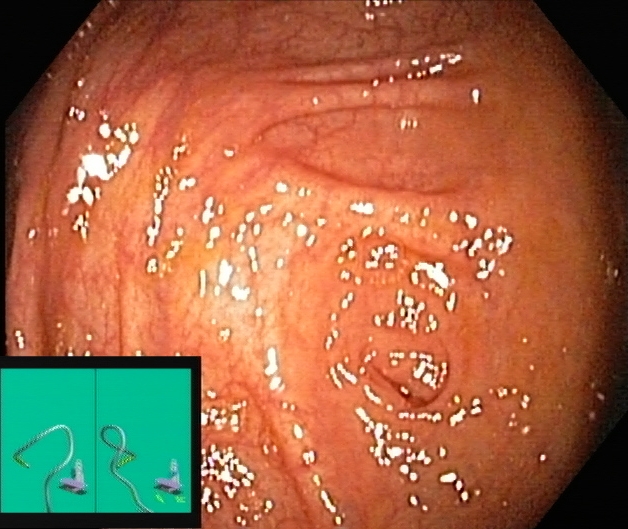Lower gastrointestinal endoscopy. Tract: lower GI tract. Anatomical landmark. Finding: cecum.